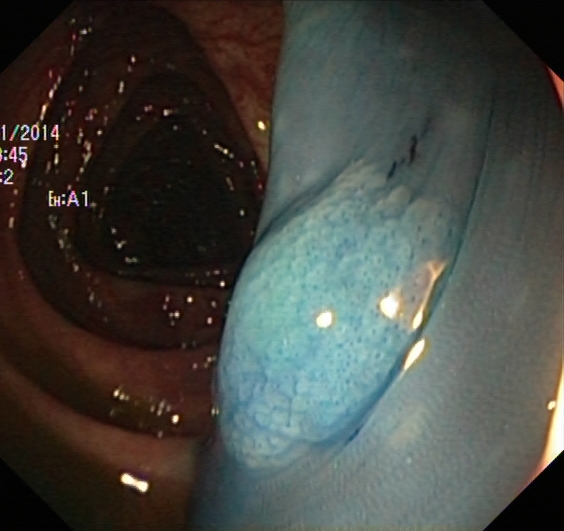Endoscopic image of the lower GI tract showing dyed and lifted polyp (pre-resection).